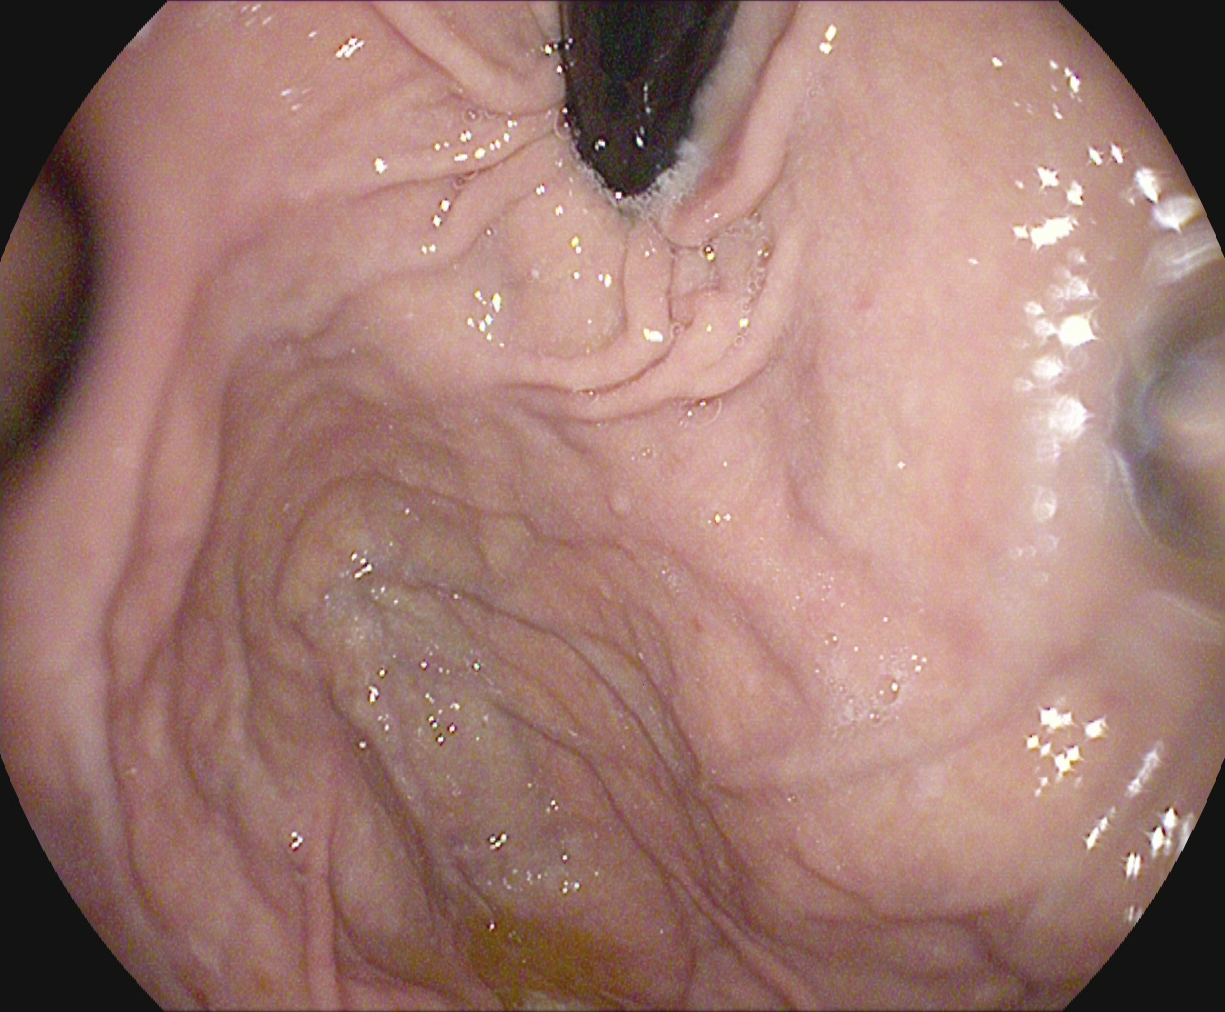Esophagogastroduodenoscopy image of the upper GI tract showing stomach in retroflexion.